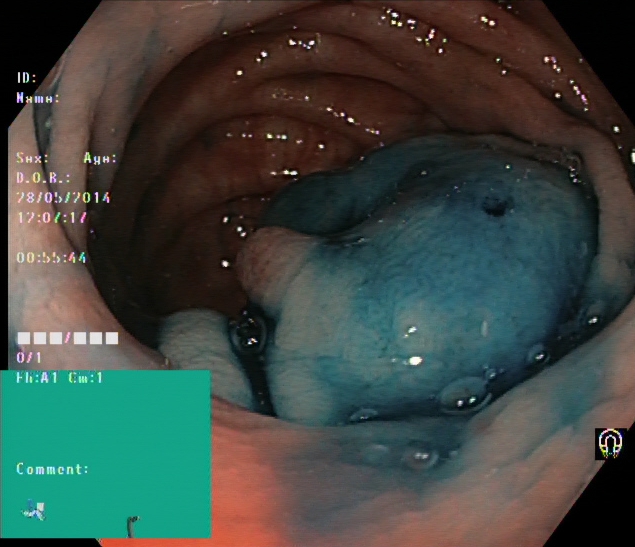PROCEDURE: Lower gastrointestinal endoscopy.
FINDINGS: Dyed and lifted polyp (pre-resection).